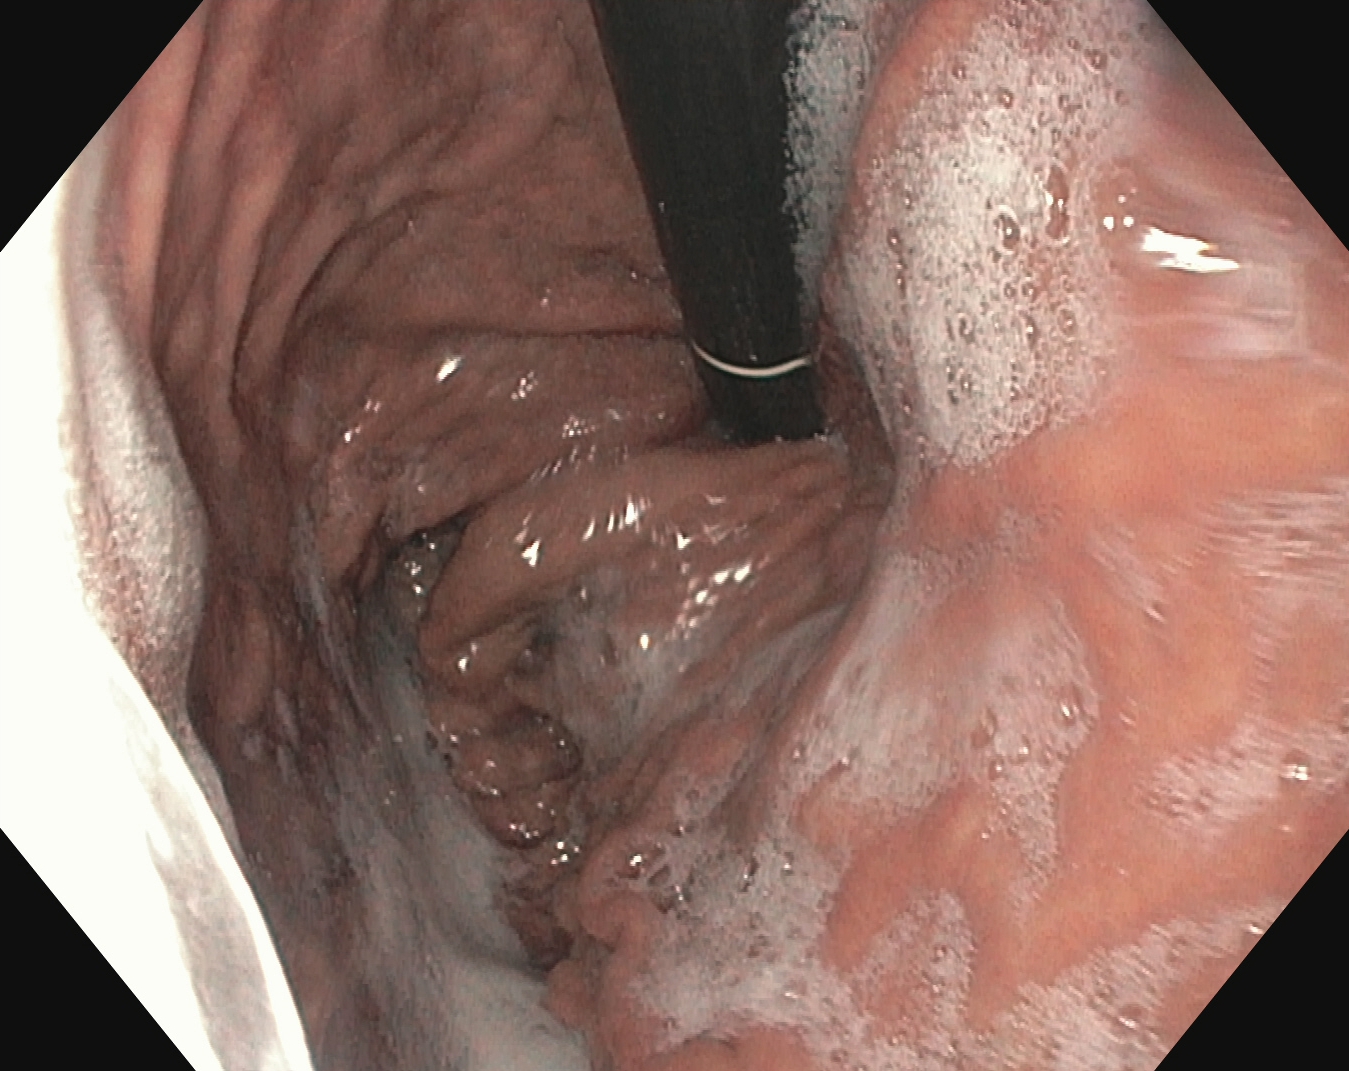{"modality": "upper-GI endoscopy", "finding": "stomach in retroflexion"}